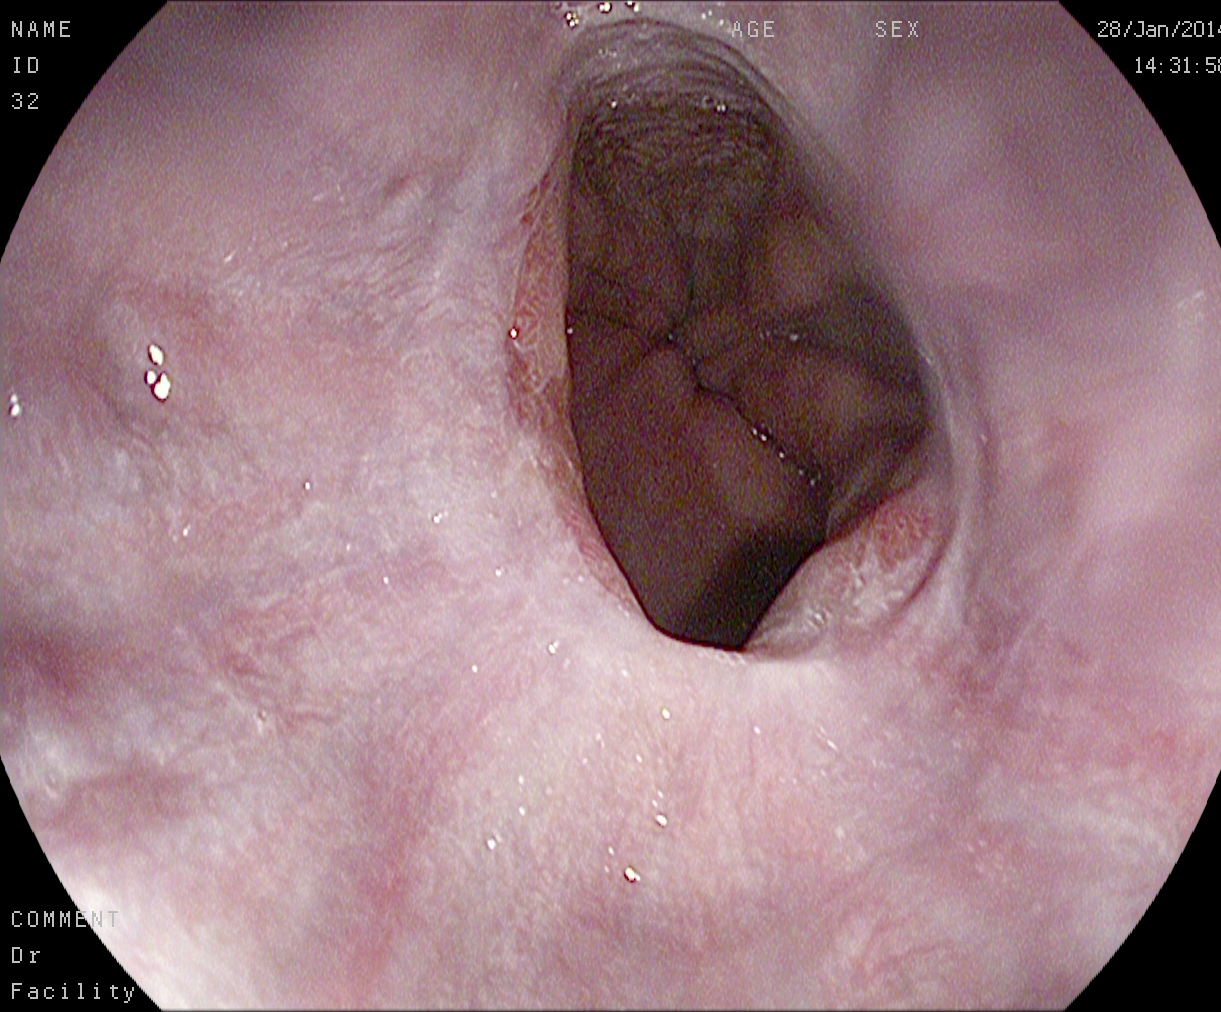reflux esophagitis, Los Angeles grade A.